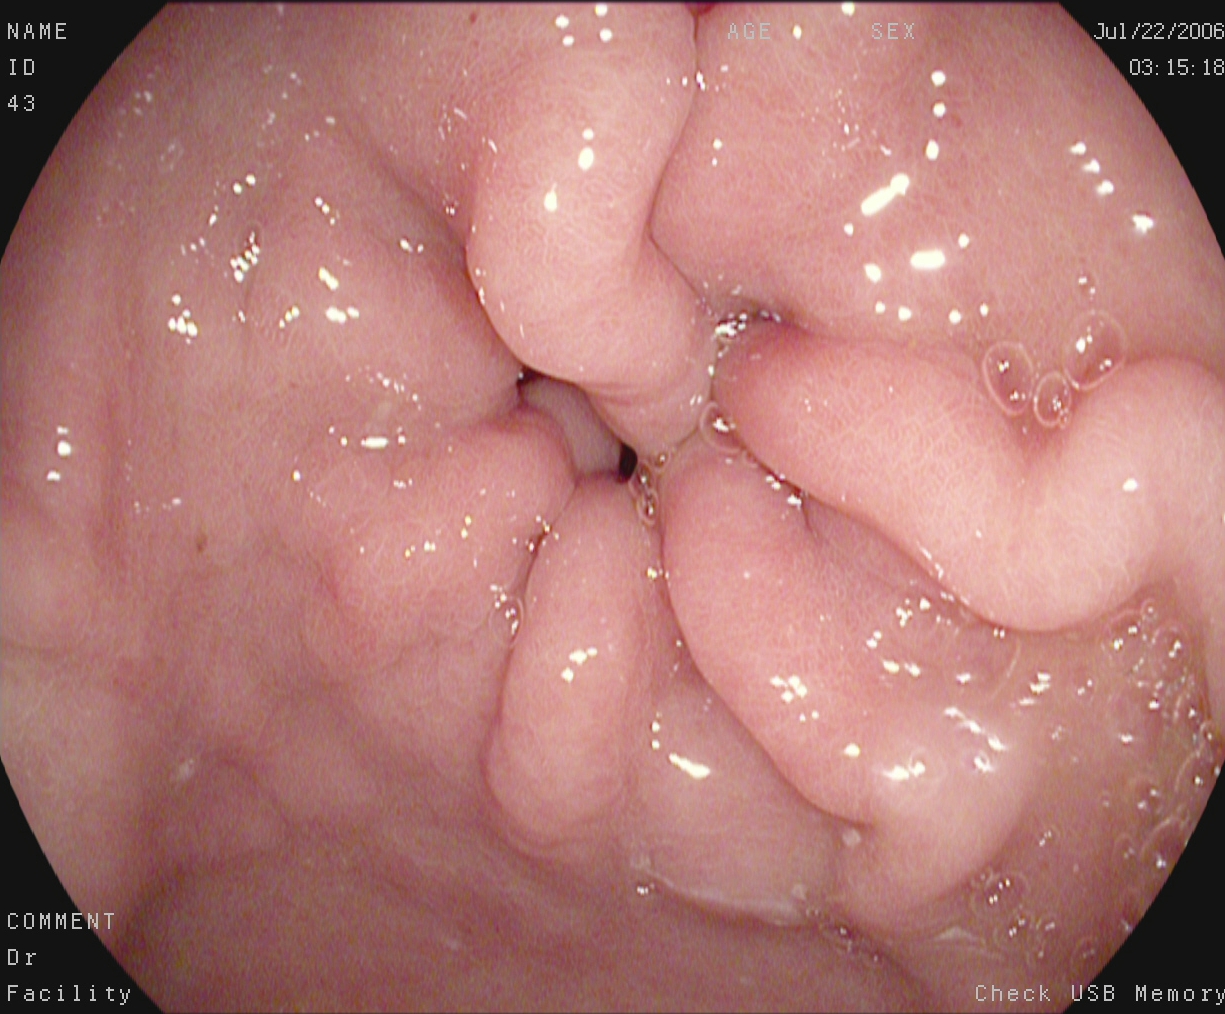GI endoscopy image of the upper GI tract showing pylorus.